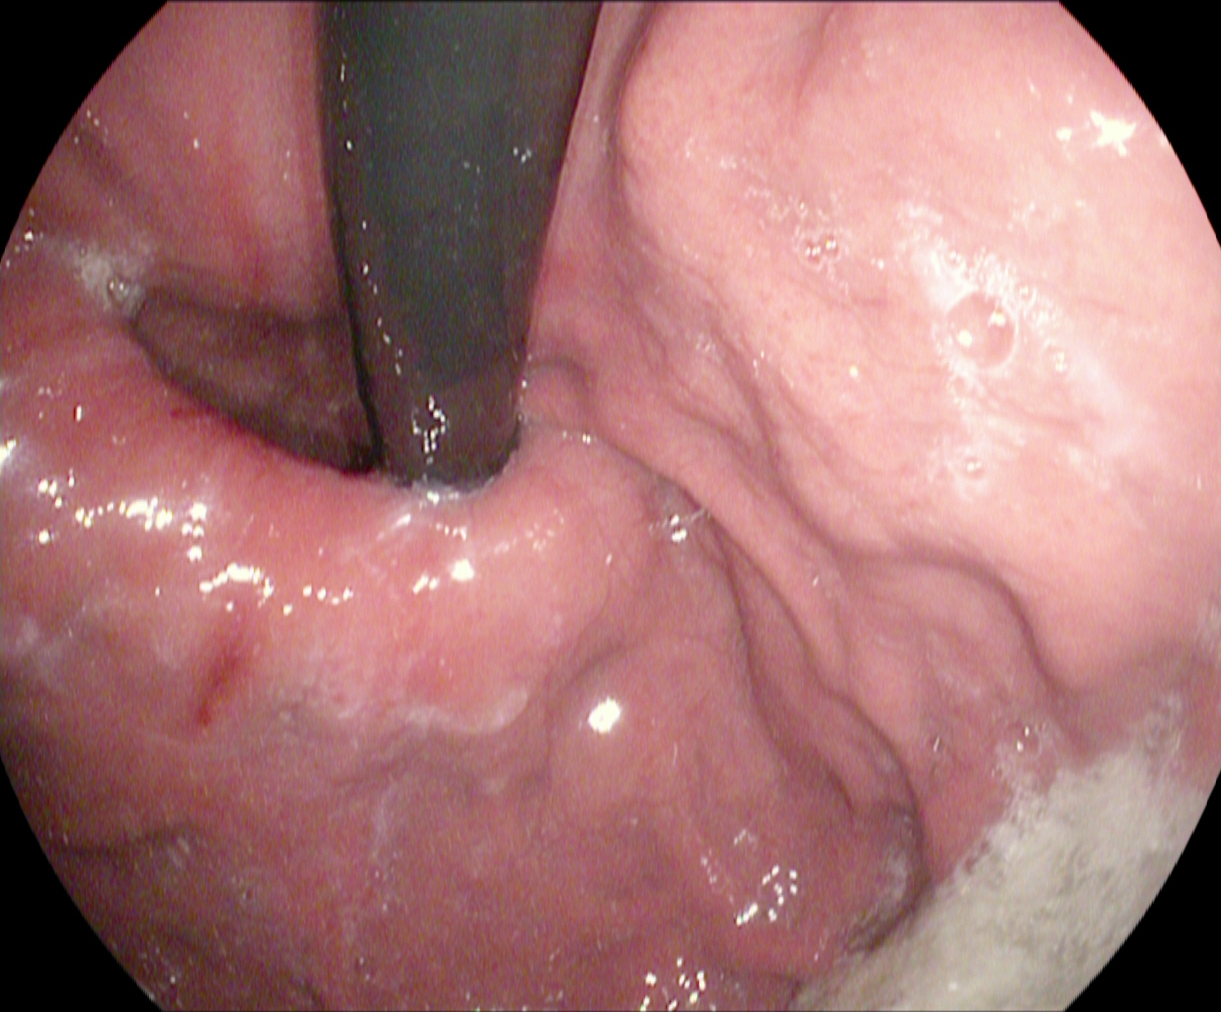Stomach in retroflexion.